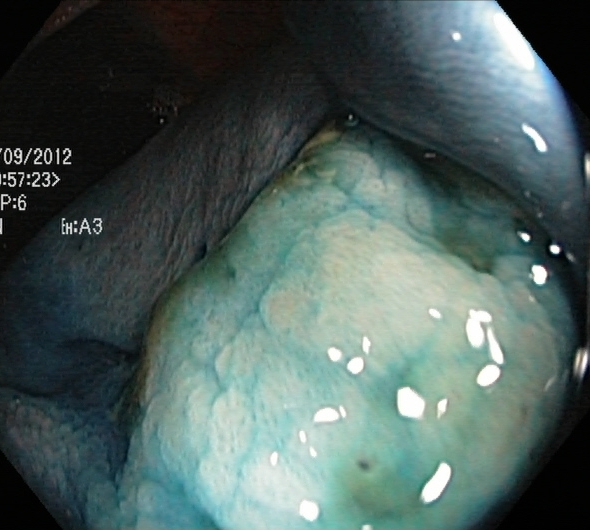modality: lower gastrointestinal endoscopy; tract: lower GI tract; finding: dyed and lifted polyp (pre-resection)